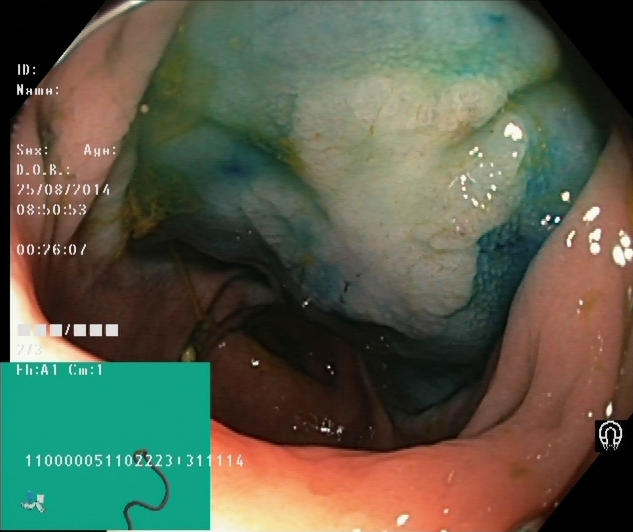Lower gastrointestinal endoscopy. Tract: lower GI tract. Therapeutic intervention. Finding: dyed and lifted polyp (pre-resection).